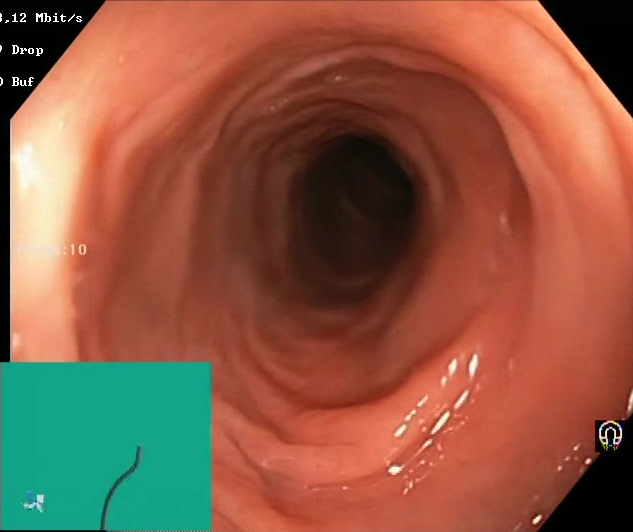Endoscopic image of the lower GI tract showing Boston Bowel Preparation Scale score 2–3 (adequate preparation).